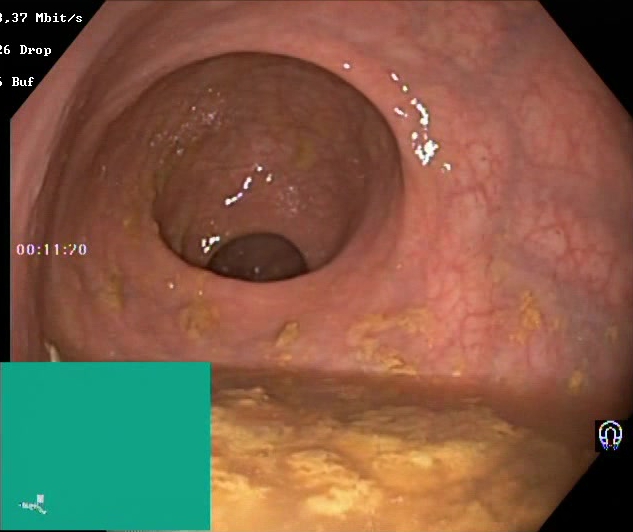This endoscopy frame of the lower GI tract shows BBPS score 0–1 (inadequate preparation).